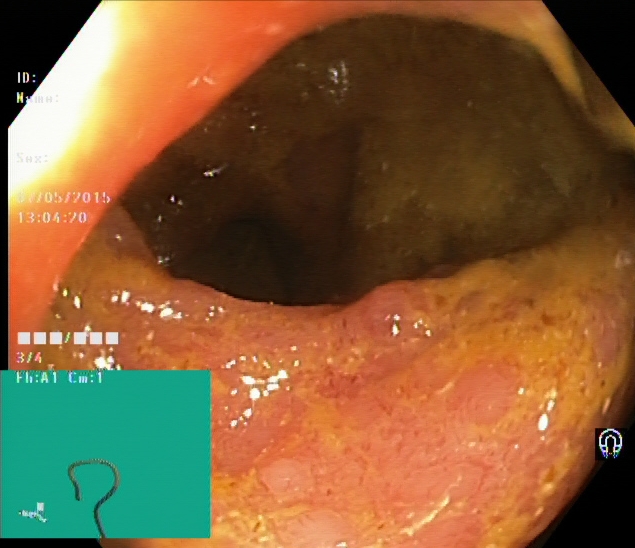This endoscopic image shows ulcerative colitis, Mayo endoscopic subscore 2.